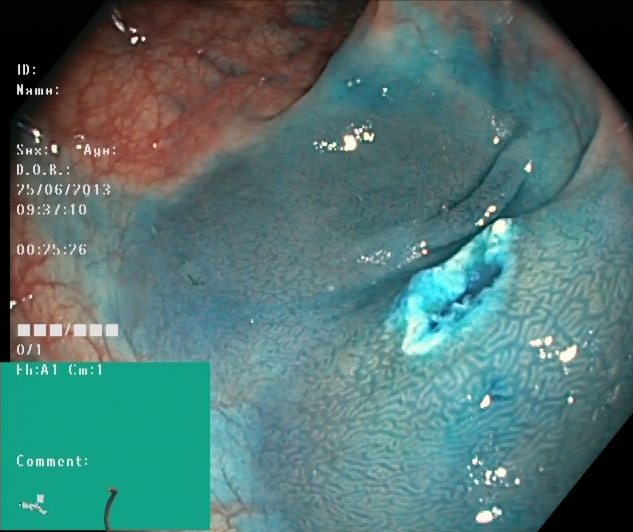{"modality": "lower-GI endoscopy", "tract": "lower GI tract", "category": "therapeutic intervention", "finding": "dyed resection margins (post-polypectomy)"}